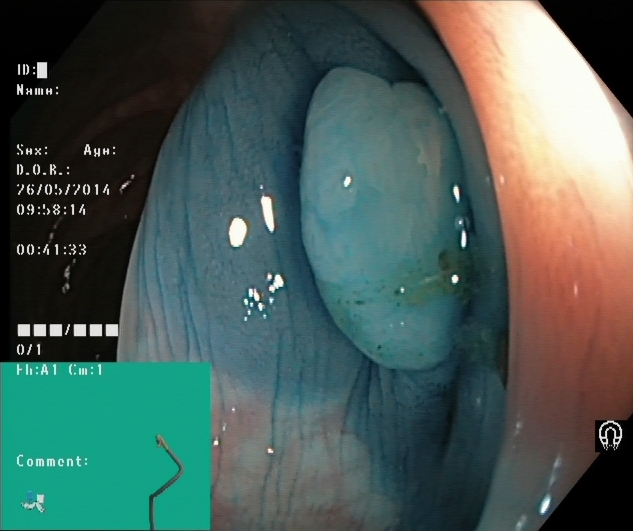This endoscopic image of the lower GI tract shows dyed and lifted polyp (pre-resection).